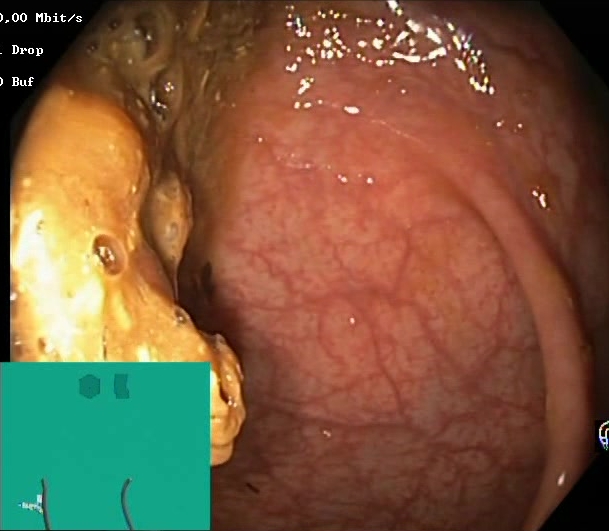Colonoscopy. Mucosal-view quality. Finding: Boston Bowel Preparation Scale score 0–1 (inadequate preparation).